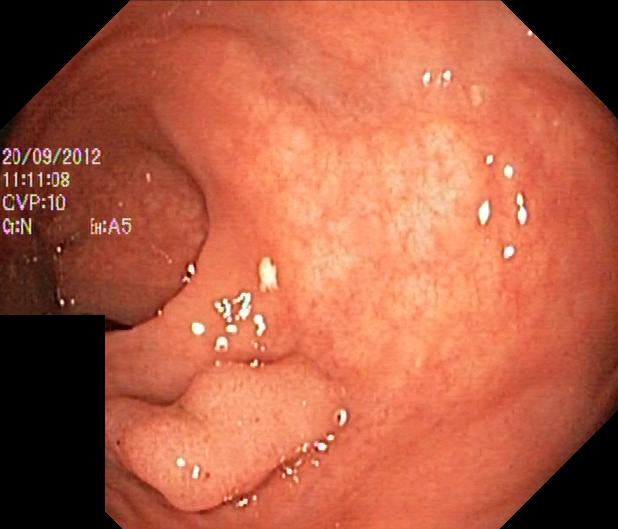Endoscopy image showing colorectal polyp(s).